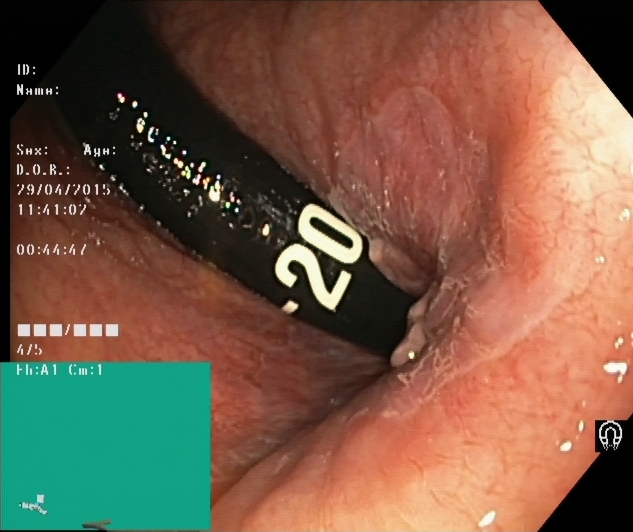Rectum in retroflexion.